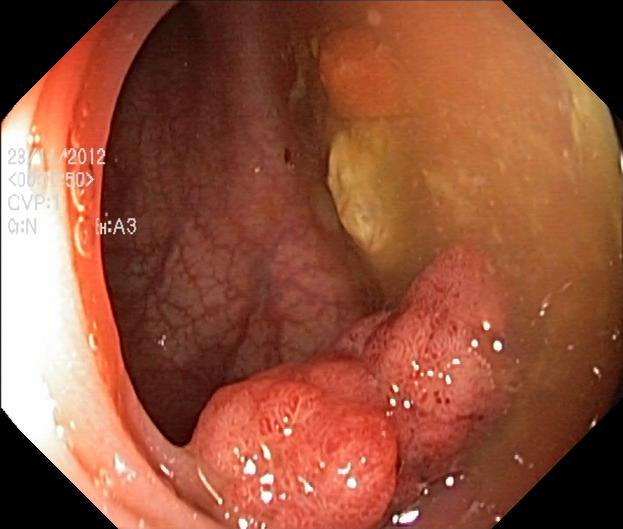Colonoscopy. Tract: lower GI tract. Pathological finding. Finding: colorectal polyp(s).